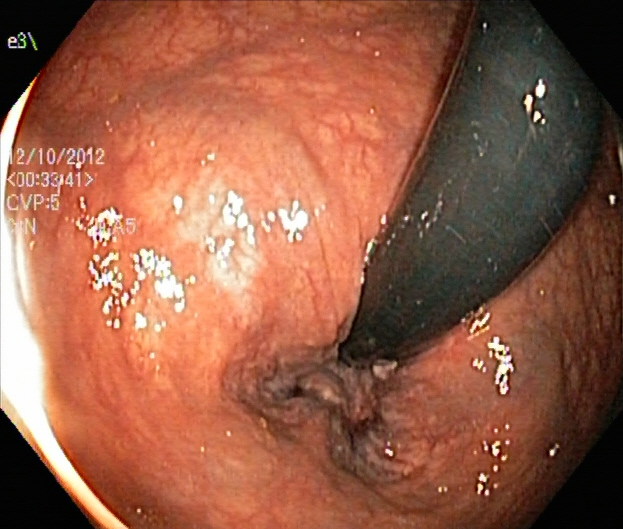Lower-GI endoscopy. Anatomical landmark. Finding: rectum in retroflexion.